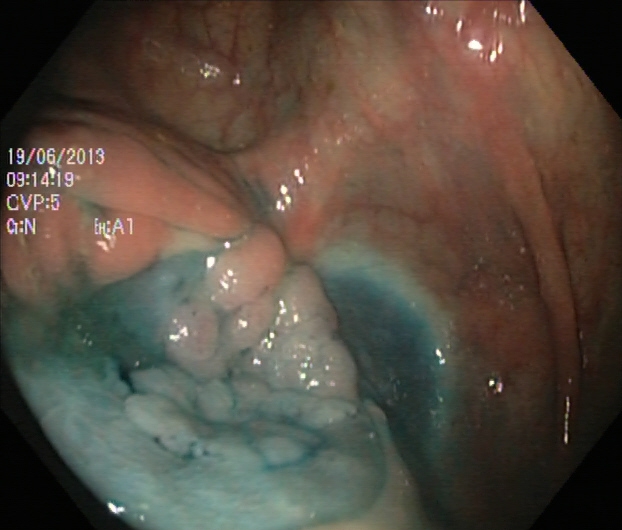Lower gastrointestinal endoscopy image of the lower GI tract showing dyed and lifted polyp (pre-resection).